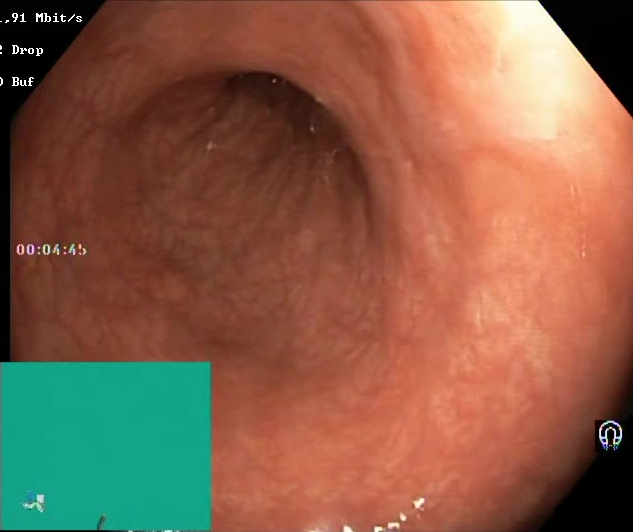modality: lower gastrointestinal endoscopy; tract: lower GI tract; finding: Boston Bowel Preparation Scale score 2–3 (adequate preparation)